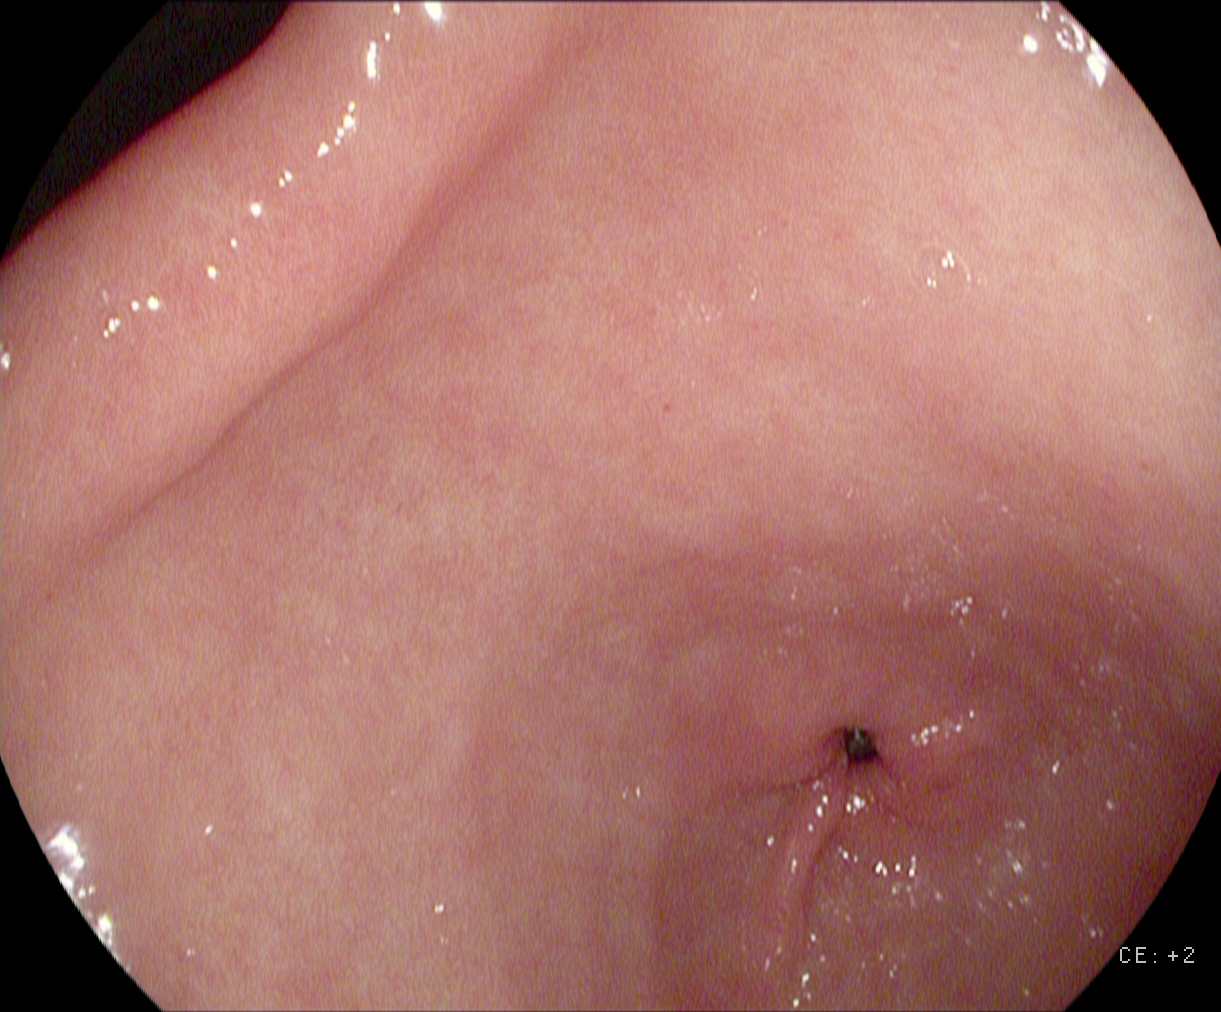PROCEDURE: Esophagogastroduodenoscopy.
FINDINGS: Pylorus.